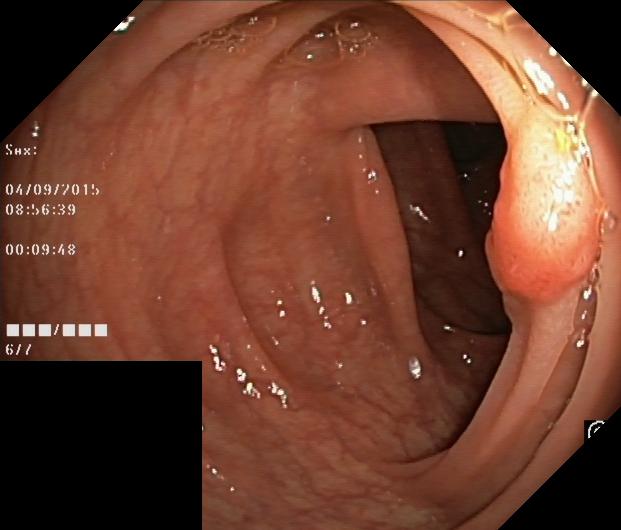PROCEDURE: Colonoscopy.
FINDINGS: Colorectal polyp(s).